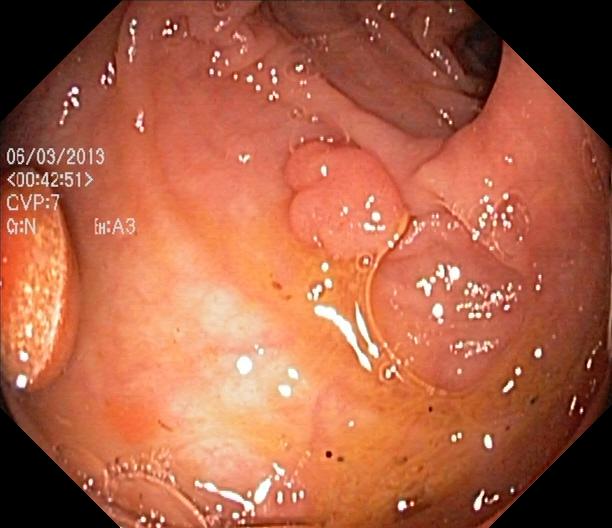This endoscopy frame shows colorectal polyp(s).